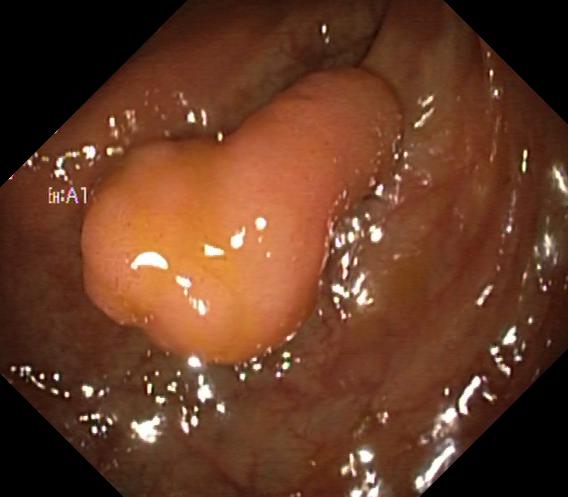{"modality": "lower gastrointestinal endoscopy", "tract": "lower GI tract", "category": "pathological finding", "finding": "colorectal polyp(s)"}